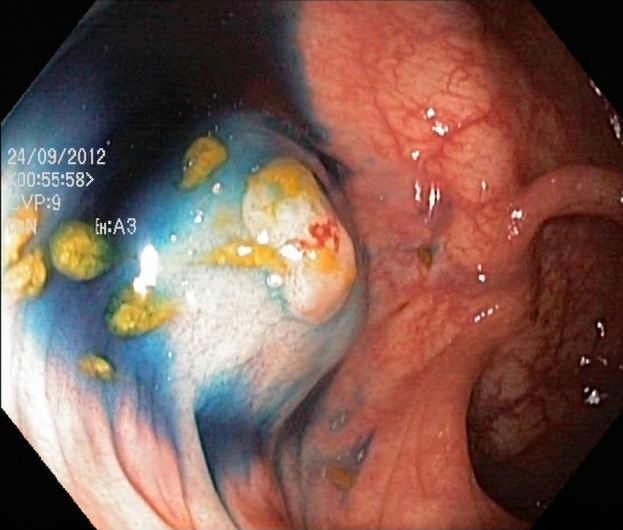Gastrointestinal endoscopy image of the lower GI tract showing dyed and lifted polyp (pre-resection).